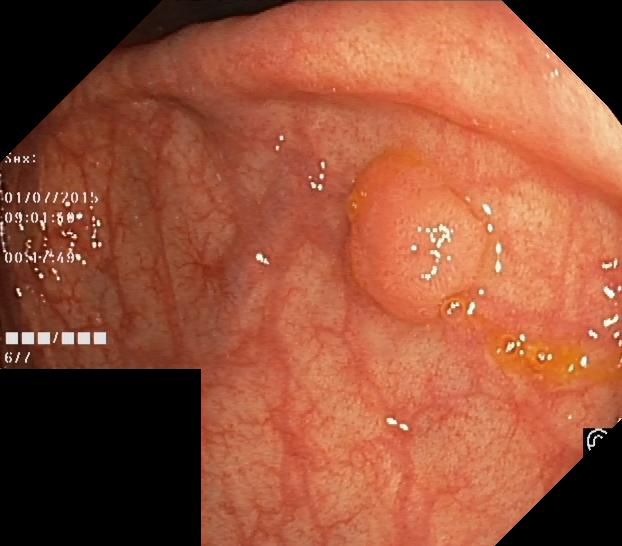modality: lower gastrointestinal endoscopy; tract: lower GI tract; finding: colorectal polyp(s)